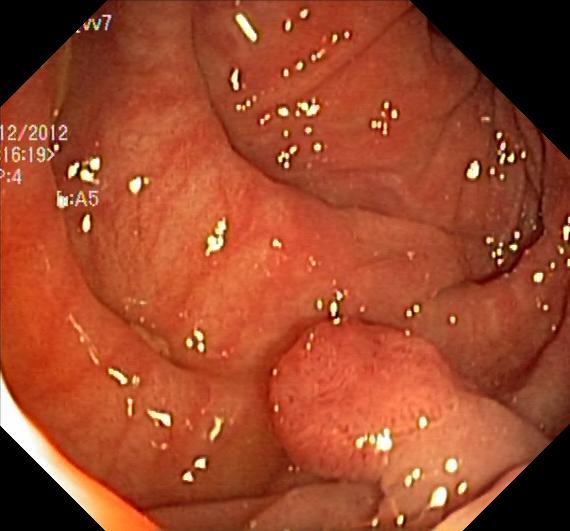{"modality": "colonoscopy", "tract": "lower GI tract", "finding": "colorectal polyp(s)"}